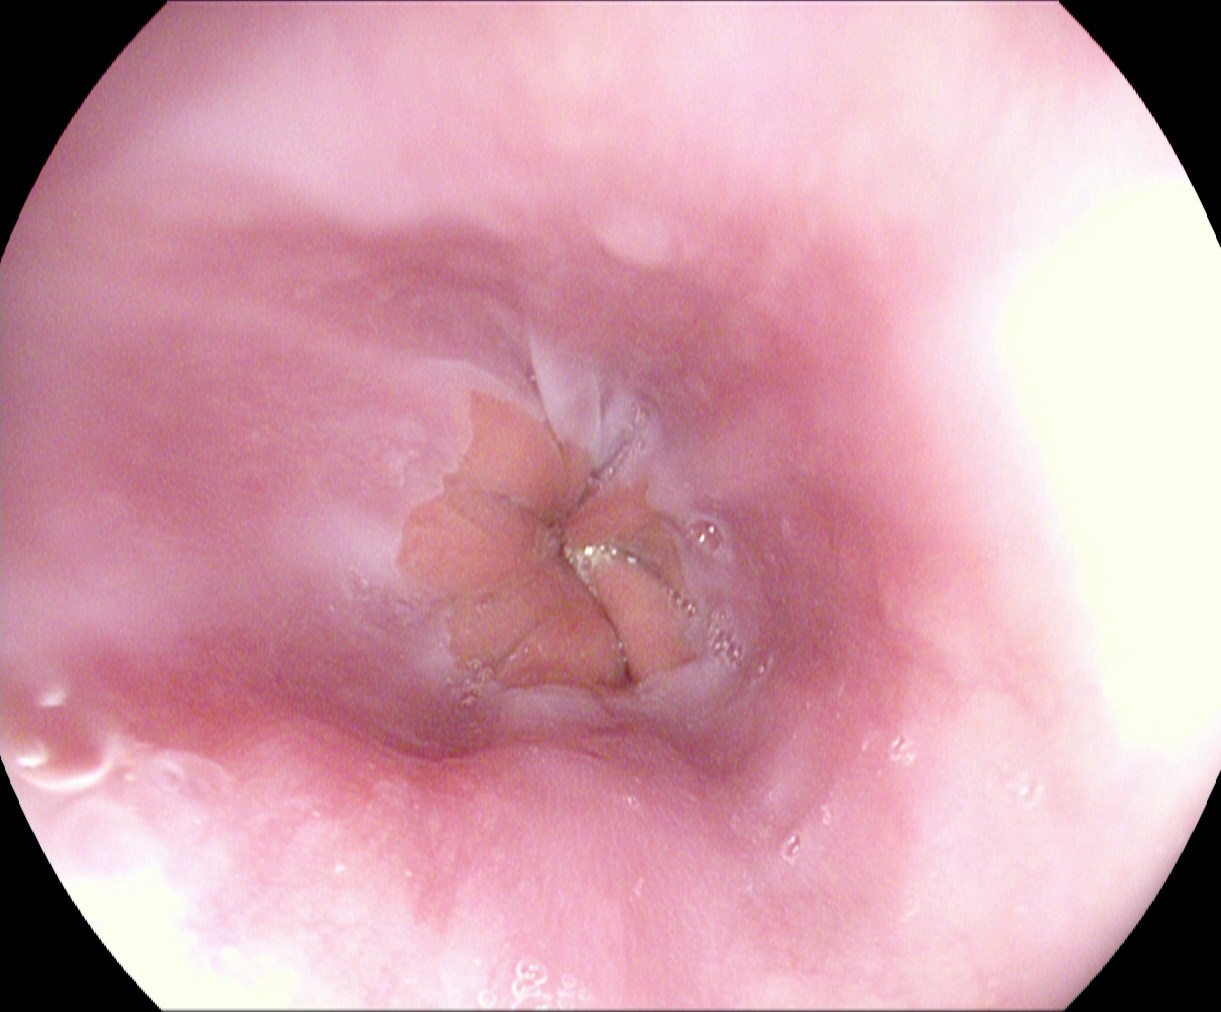Gastroscopy. Tract: upper GI tract. Finding: Z-line (gastroesophageal junction).